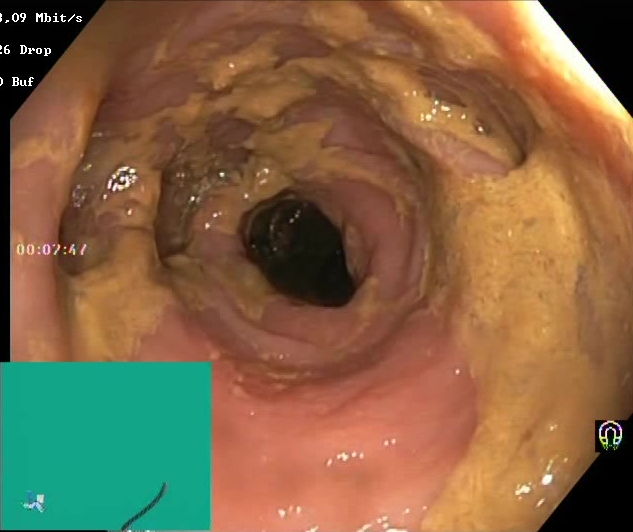This endoscopic image shows Boston Bowel Preparation Scale score 0–1 (inadequate preparation).